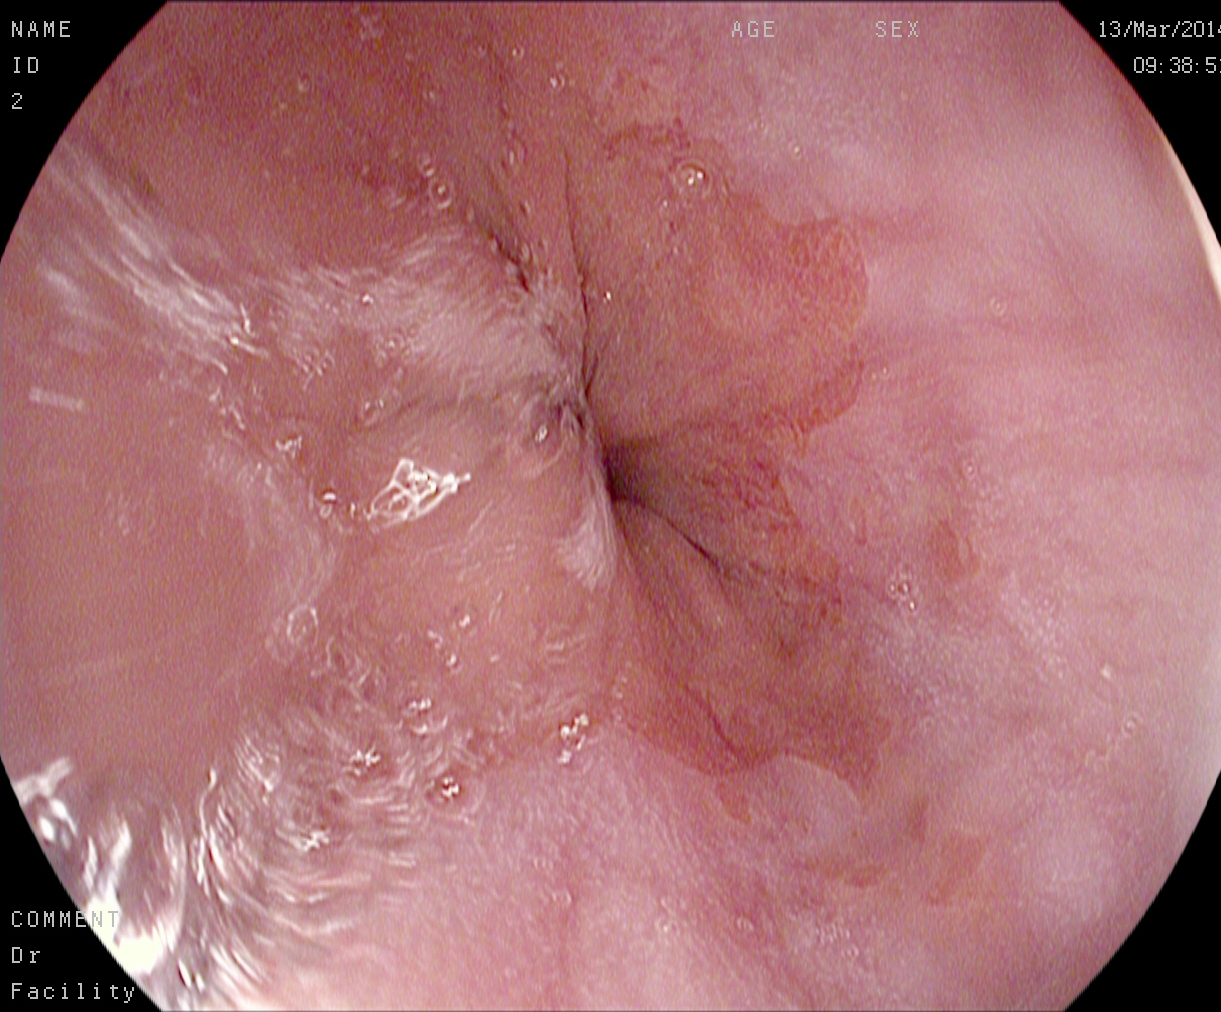{"modality": "esophagogastroduodenoscopy", "finding": "Z-line (gastroesophageal junction)"}